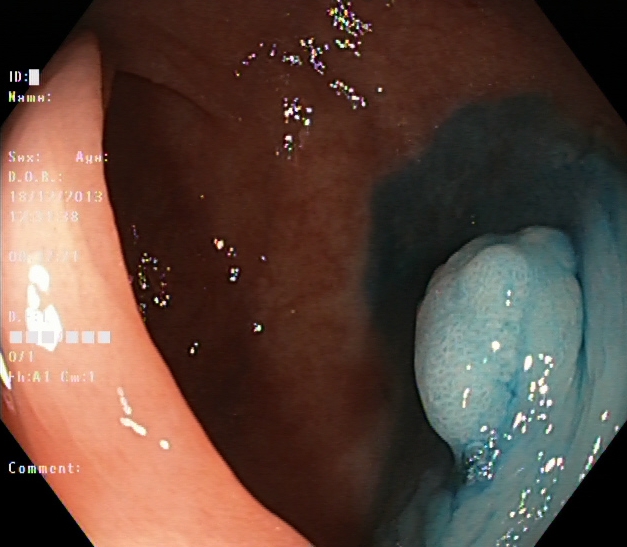Lower gastrointestinal endoscopy — dyed and lifted polyp (pre-resection).